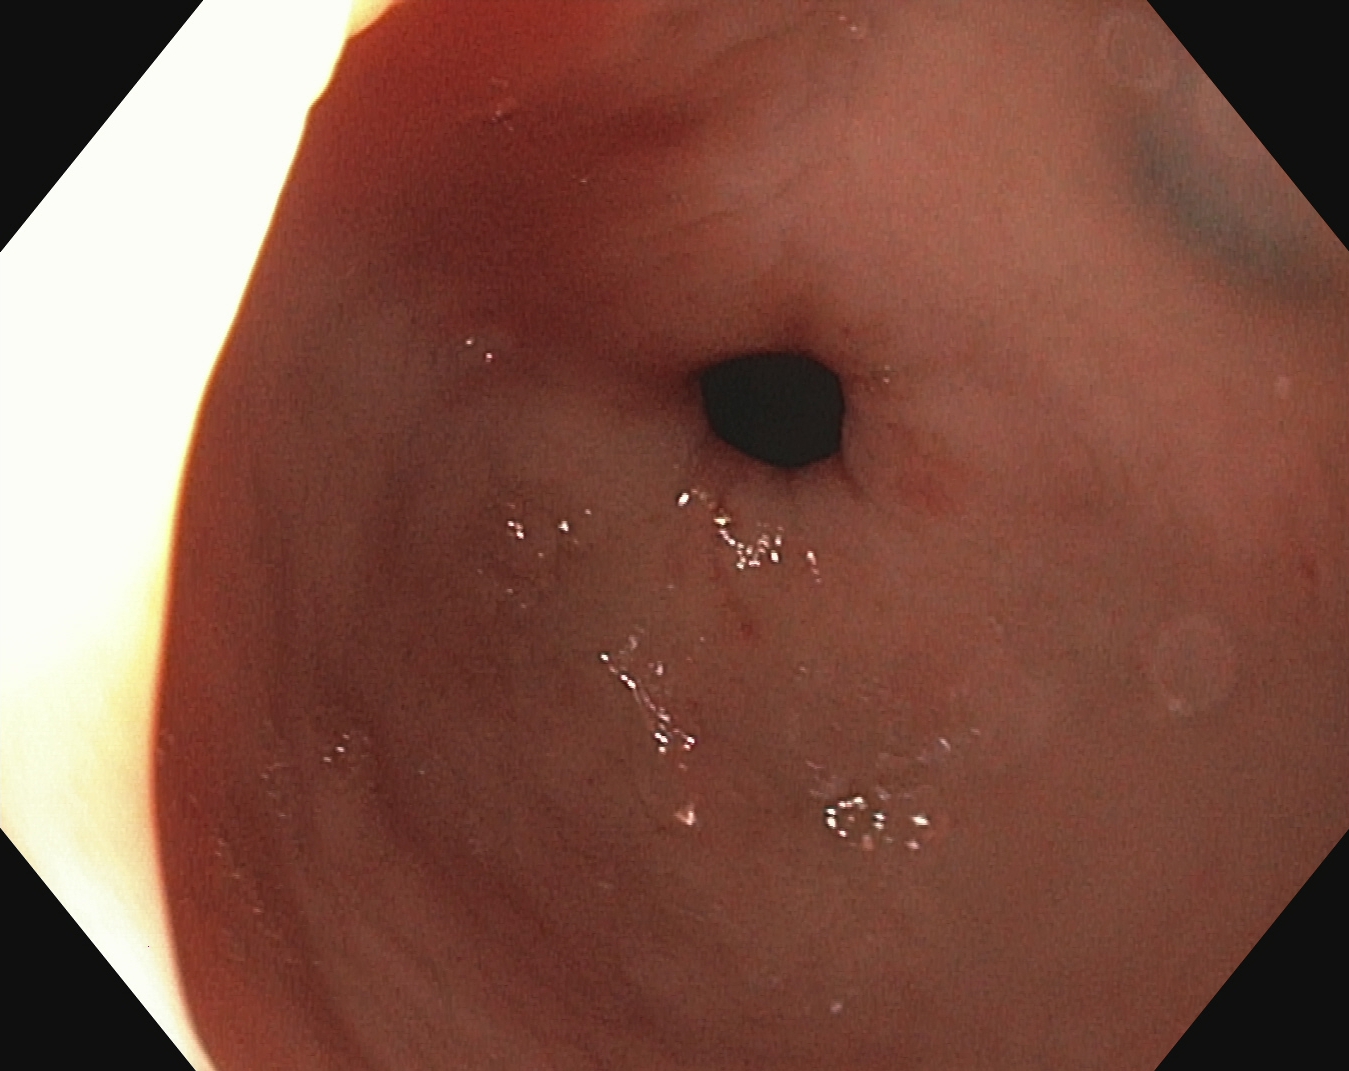PROCEDURE: EGD.
FINDINGS: Pylorus.